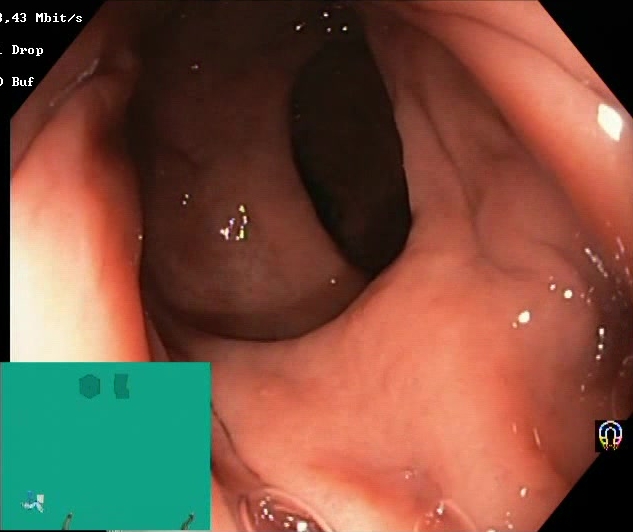PROCEDURE: Lower gastrointestinal endoscopy.
CATEGORY: Mucosal-view quality.
FINDINGS: Boston Bowel Preparation Scale score 2–3 (adequate preparation).